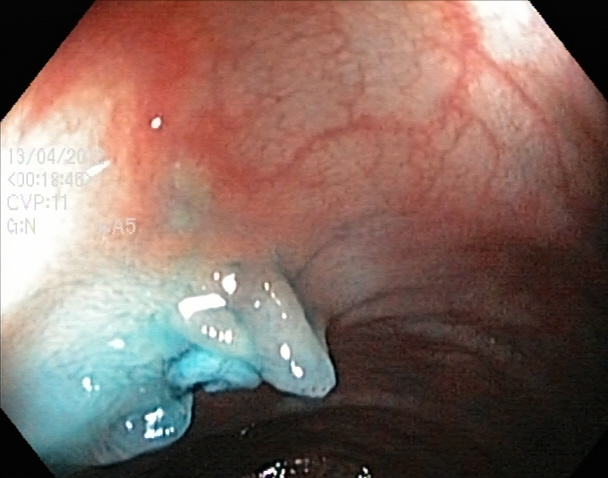PROCEDURE: Lower gastrointestinal endoscopy.
CATEGORY: Therapeutic intervention.
FINDINGS: Dyed and lifted polyp (pre-resection).